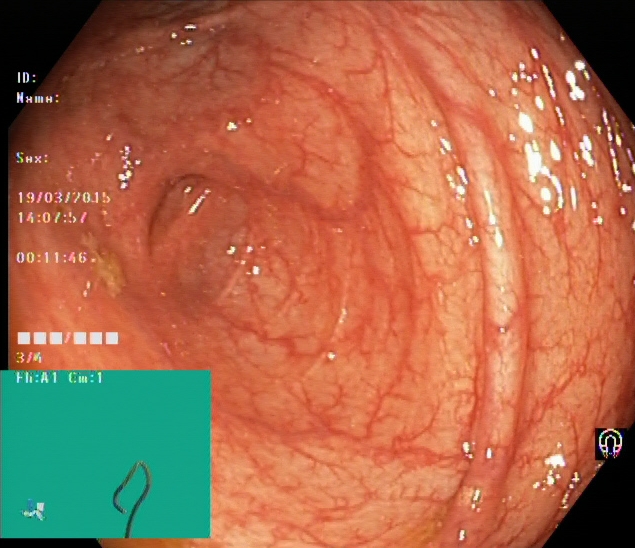Colonoscopy. Anatomical landmark. Finding: cecum.